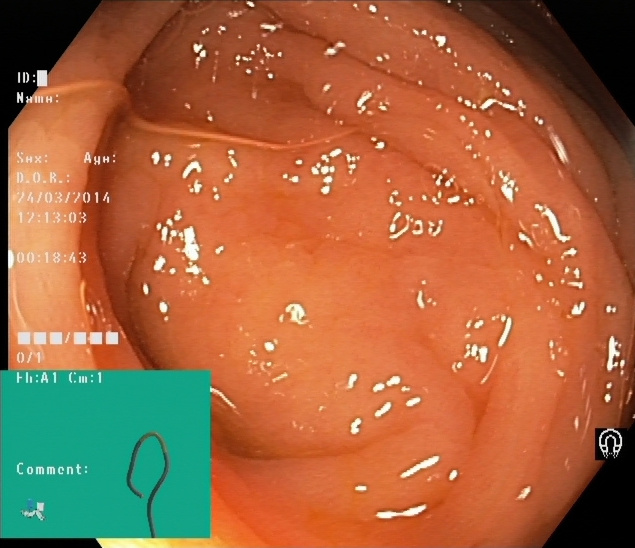Lower gastrointestinal endoscopy. Finding: cecum.